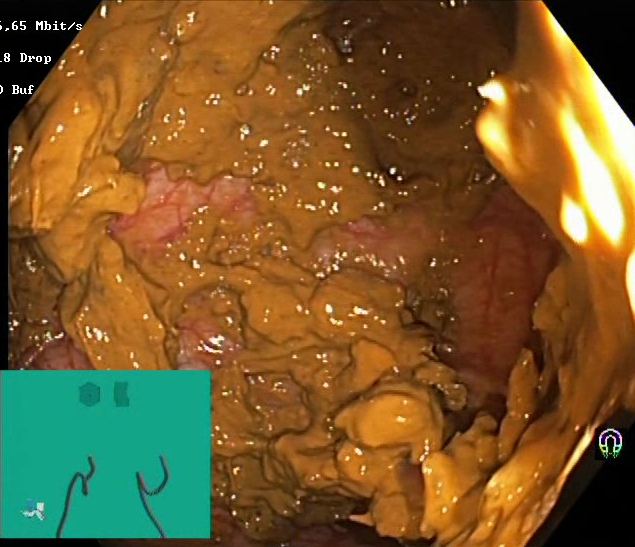PROCEDURE: Lower gastrointestinal endoscopy.
FINDINGS: Boston Bowel Preparation Scale score 0–1 (inadequate preparation).